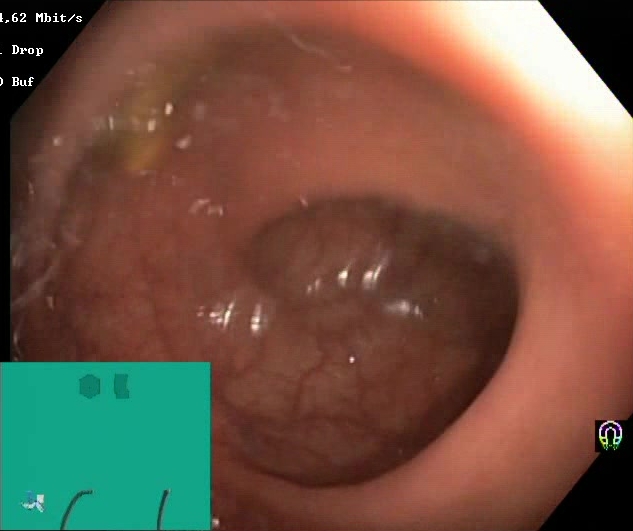BBPS score 2–3 (adequate preparation).